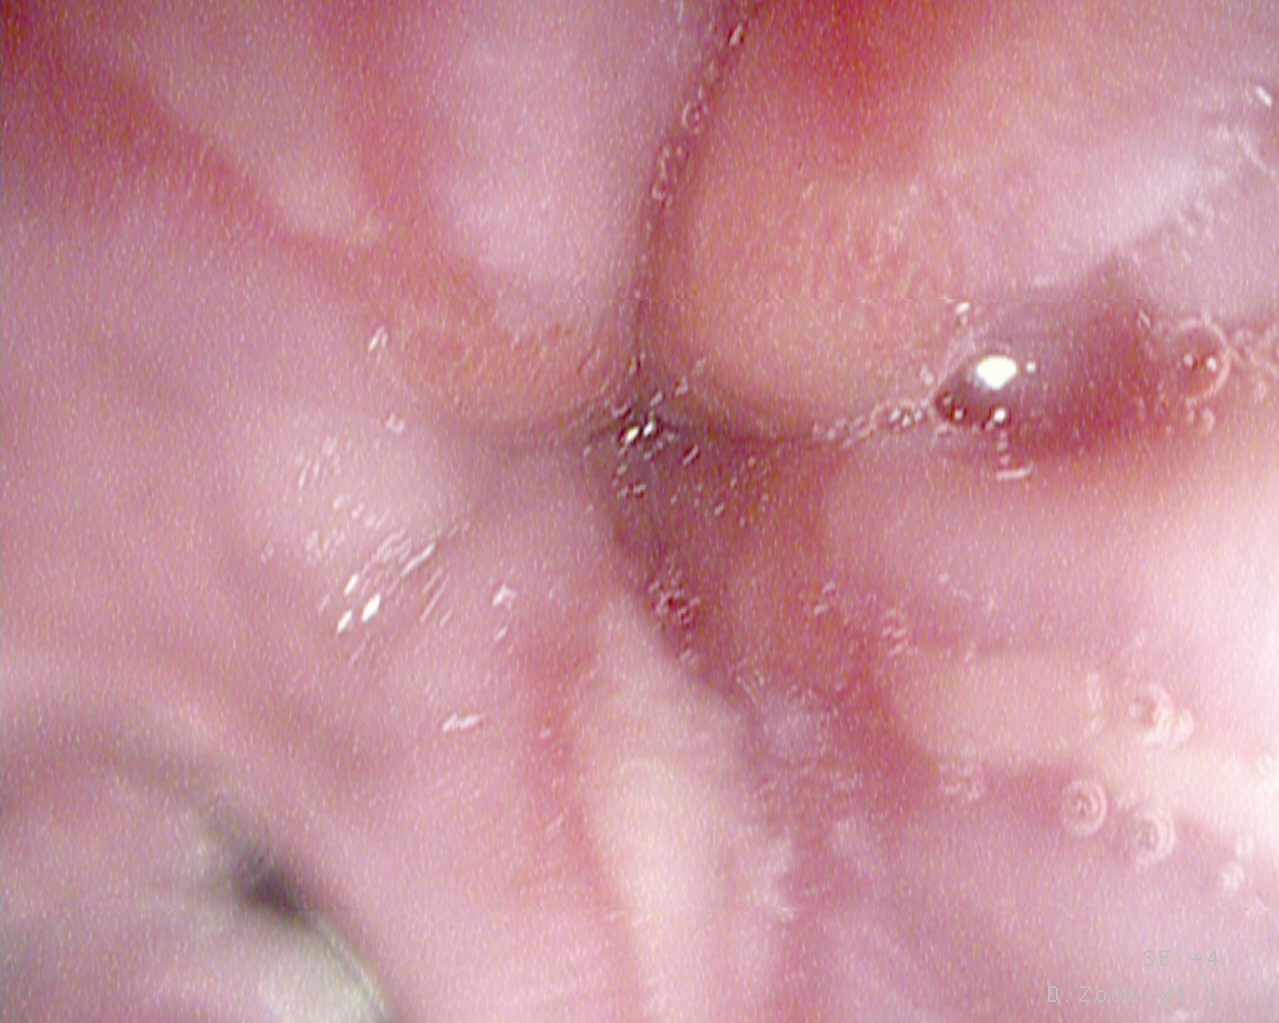Esophagogastroduodenoscopy — reflux esophagitis, LA grade A.